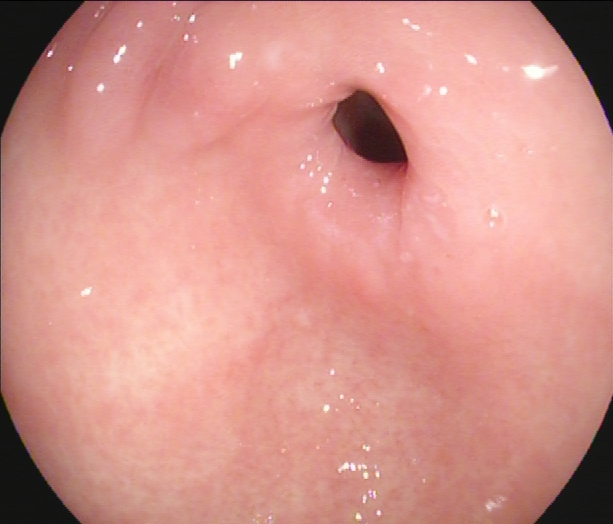{"modality": "EGD", "category": "anatomical landmark", "finding": "pylorus"}